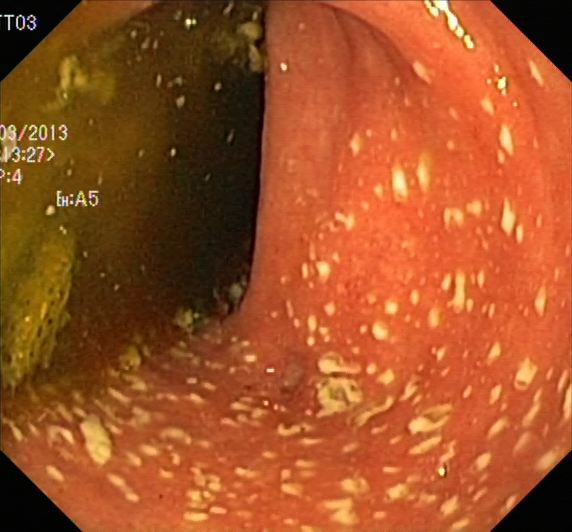modality: lower gastrointestinal endoscopy; tract: lower GI tract; category: pathological finding; finding: ulcerative colitis, Mayo endoscopic subscore 2